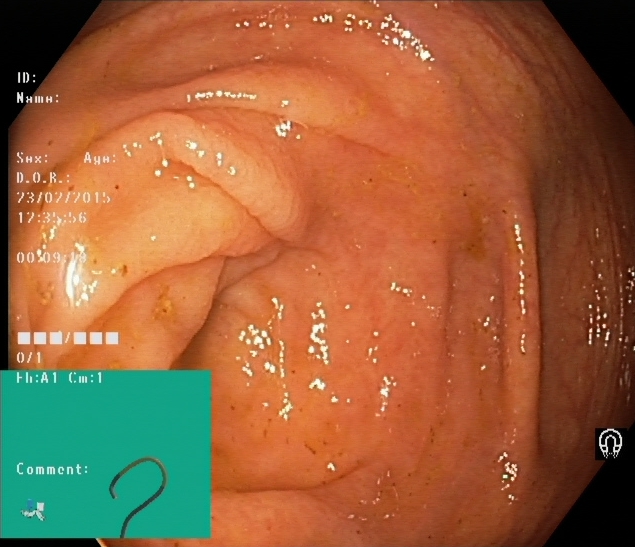cecum.